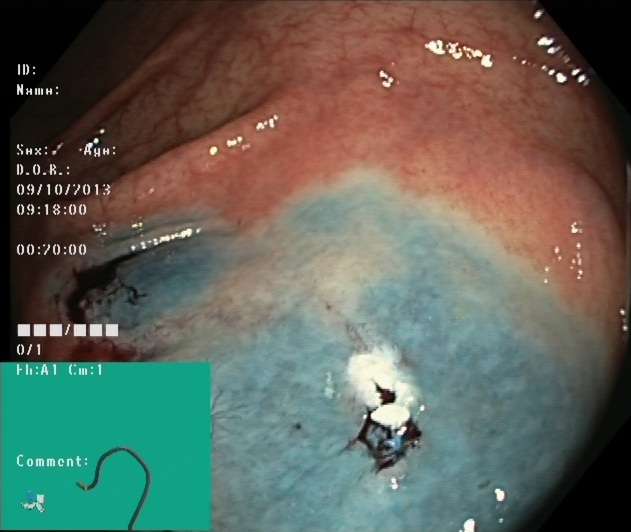Colonoscopy — dyed resection margins (post-polypectomy).